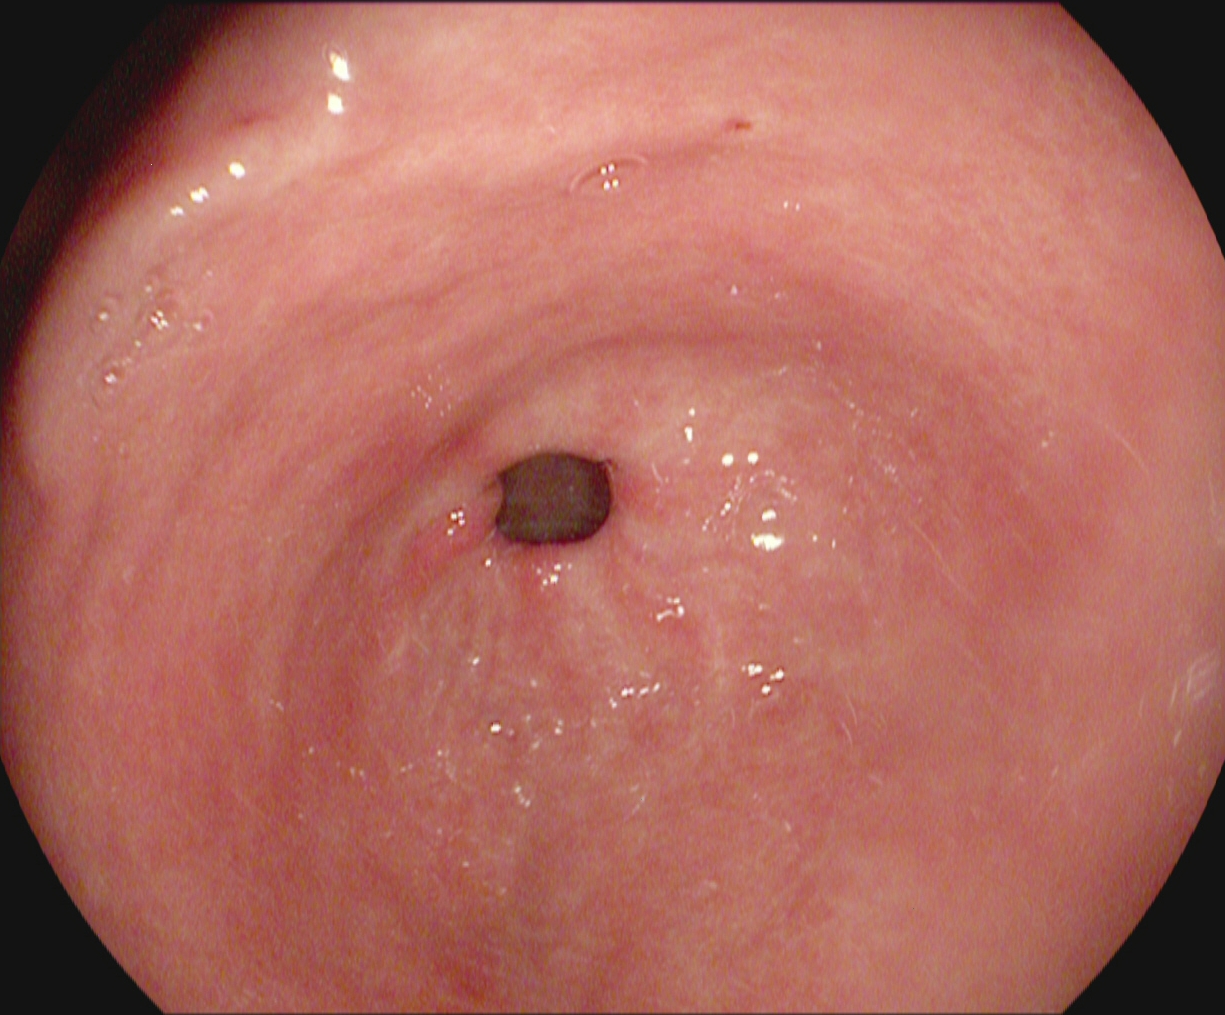Pylorus.